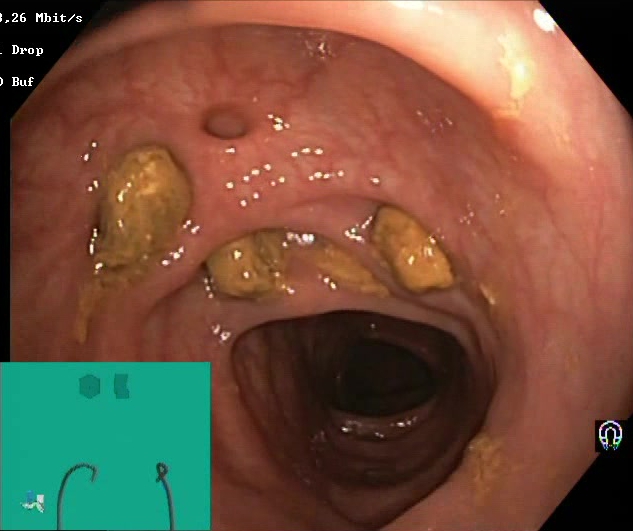{"modality": "lower-GI endoscopy", "tract": "lower GI tract", "finding": "impacted stool"}